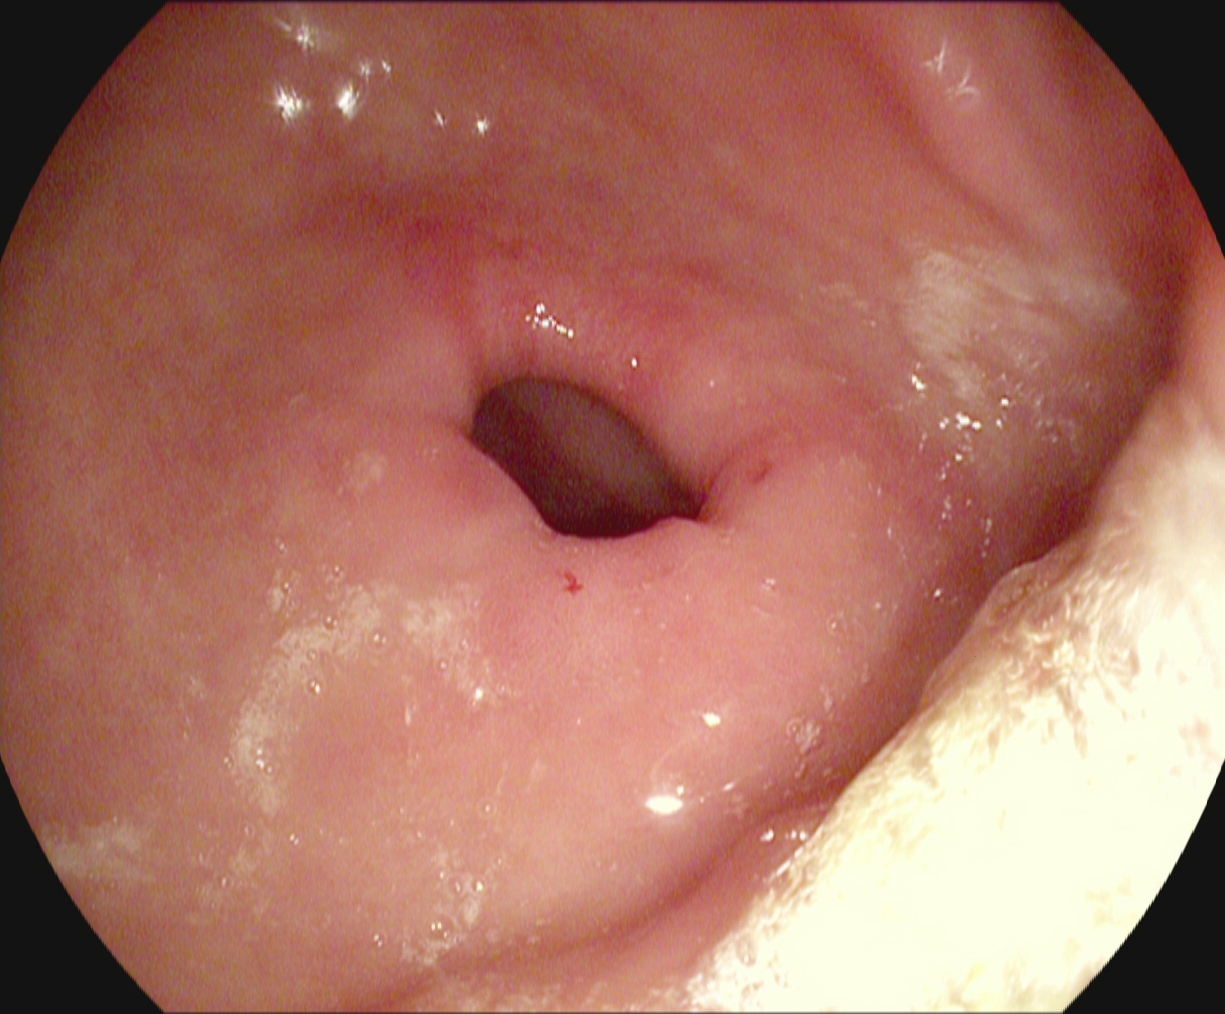{"modality": "EGD", "category": "anatomical landmark", "finding": "pylorus"}